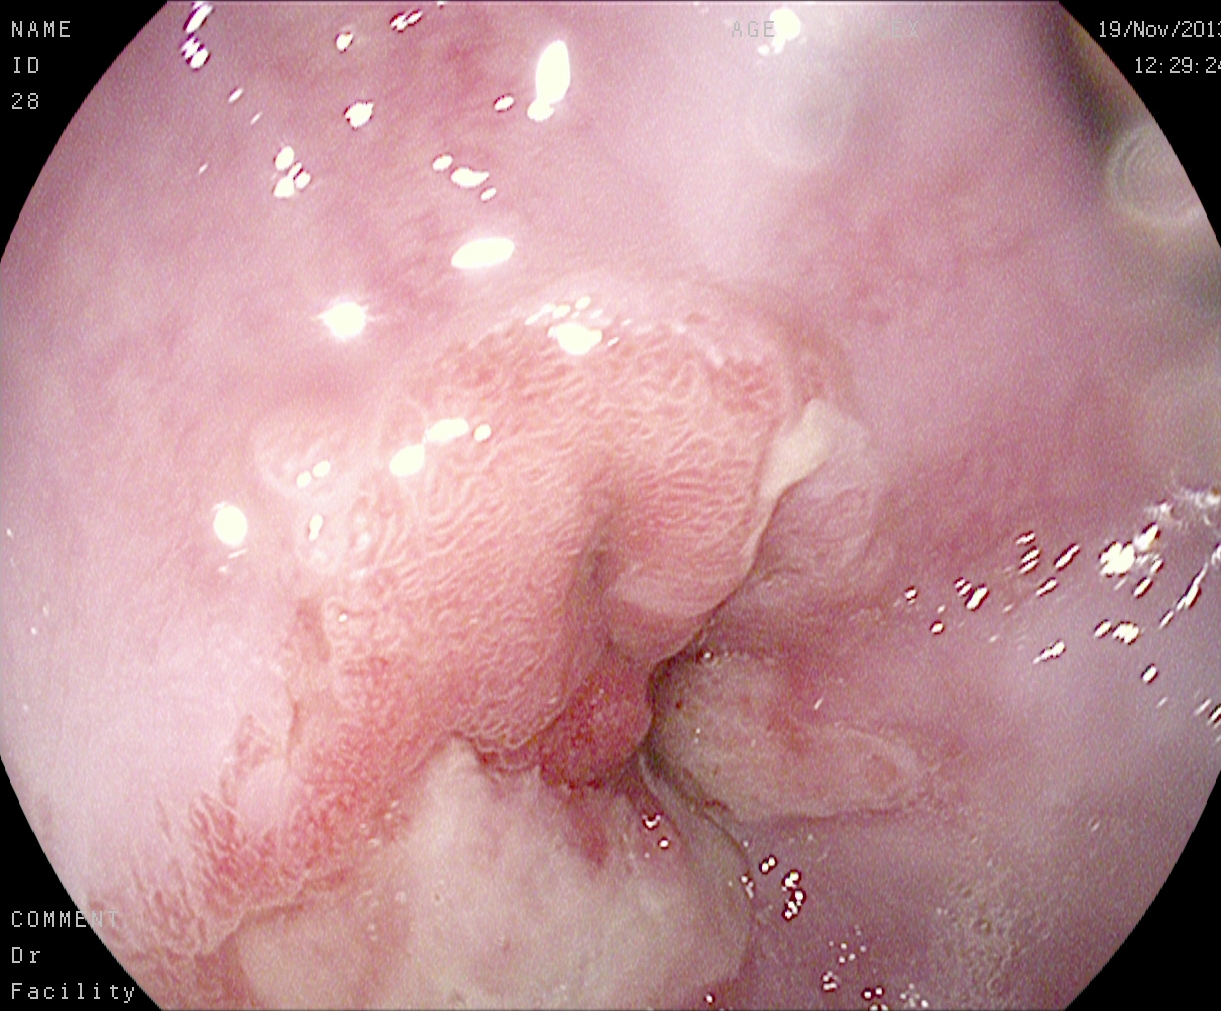modality: esophagogastroduodenoscopy
tract: upper GI tract
finding: reflux esophagitis, Los Angeles grade B–D